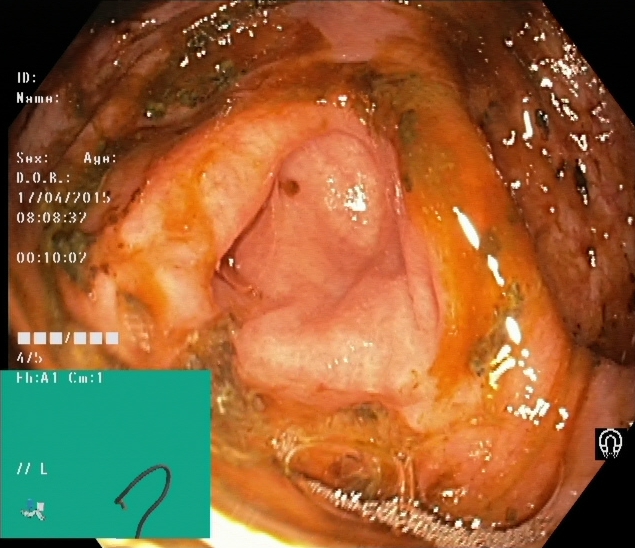Lower gastrointestinal endoscopy — cecum.